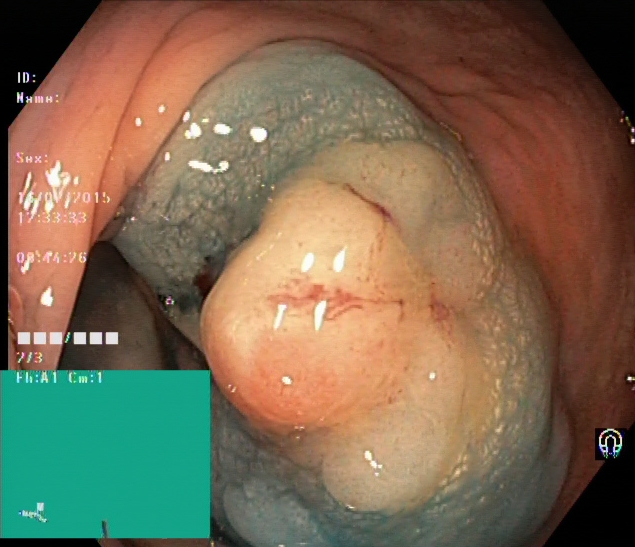Gastrointestinal endoscopy image of the lower GI tract showing dyed and lifted polyp (pre-resection).